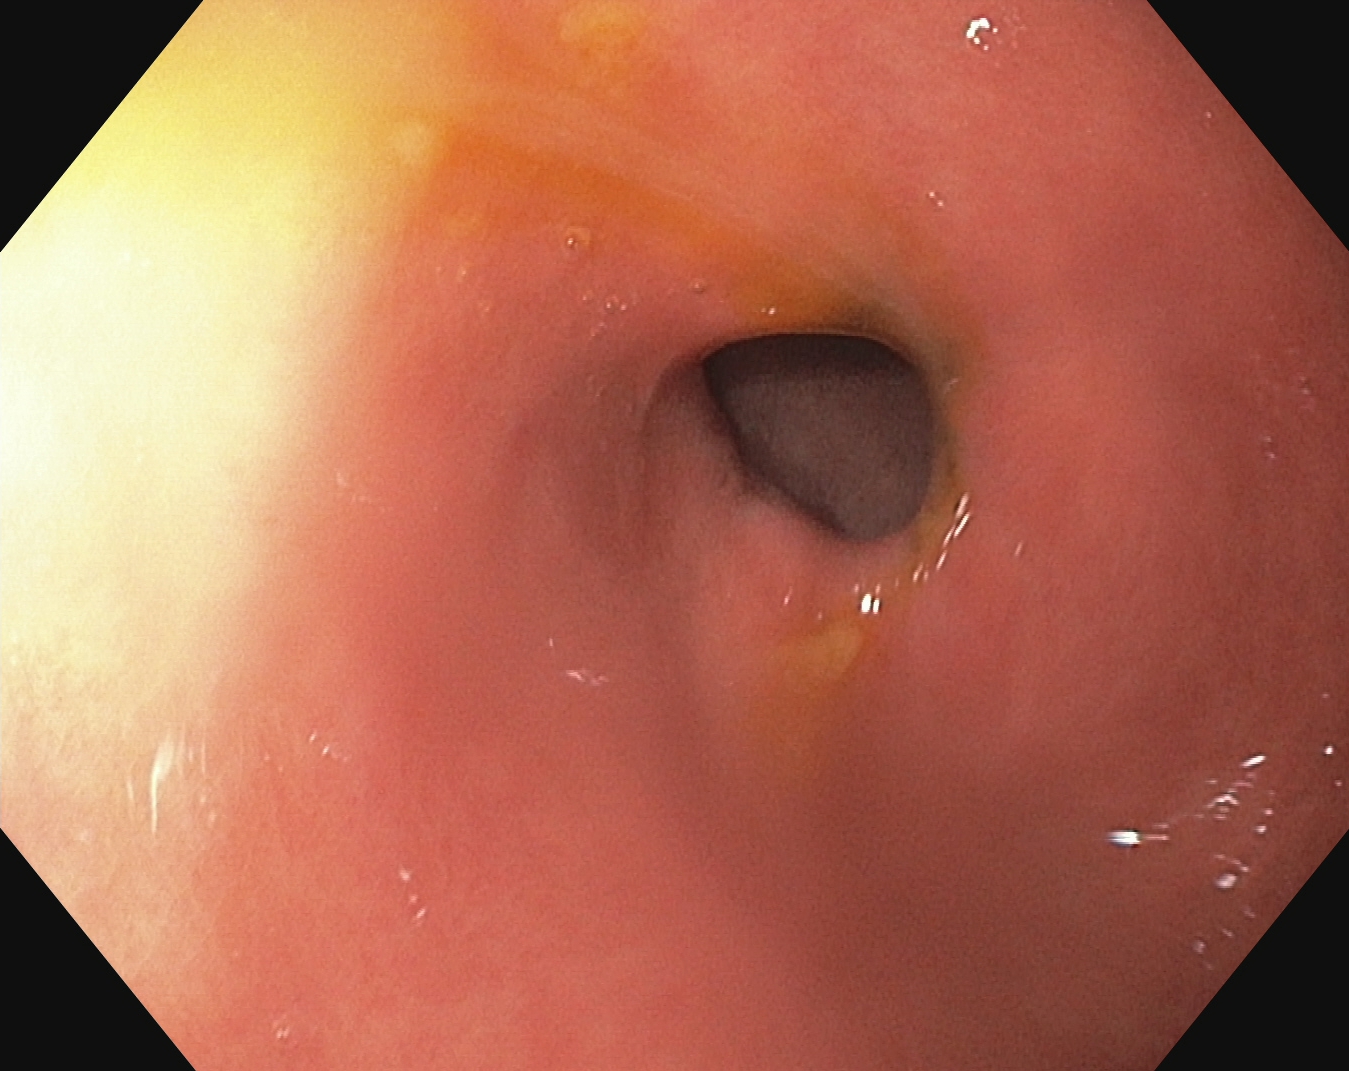Upper-GI endoscopy — pylorus.